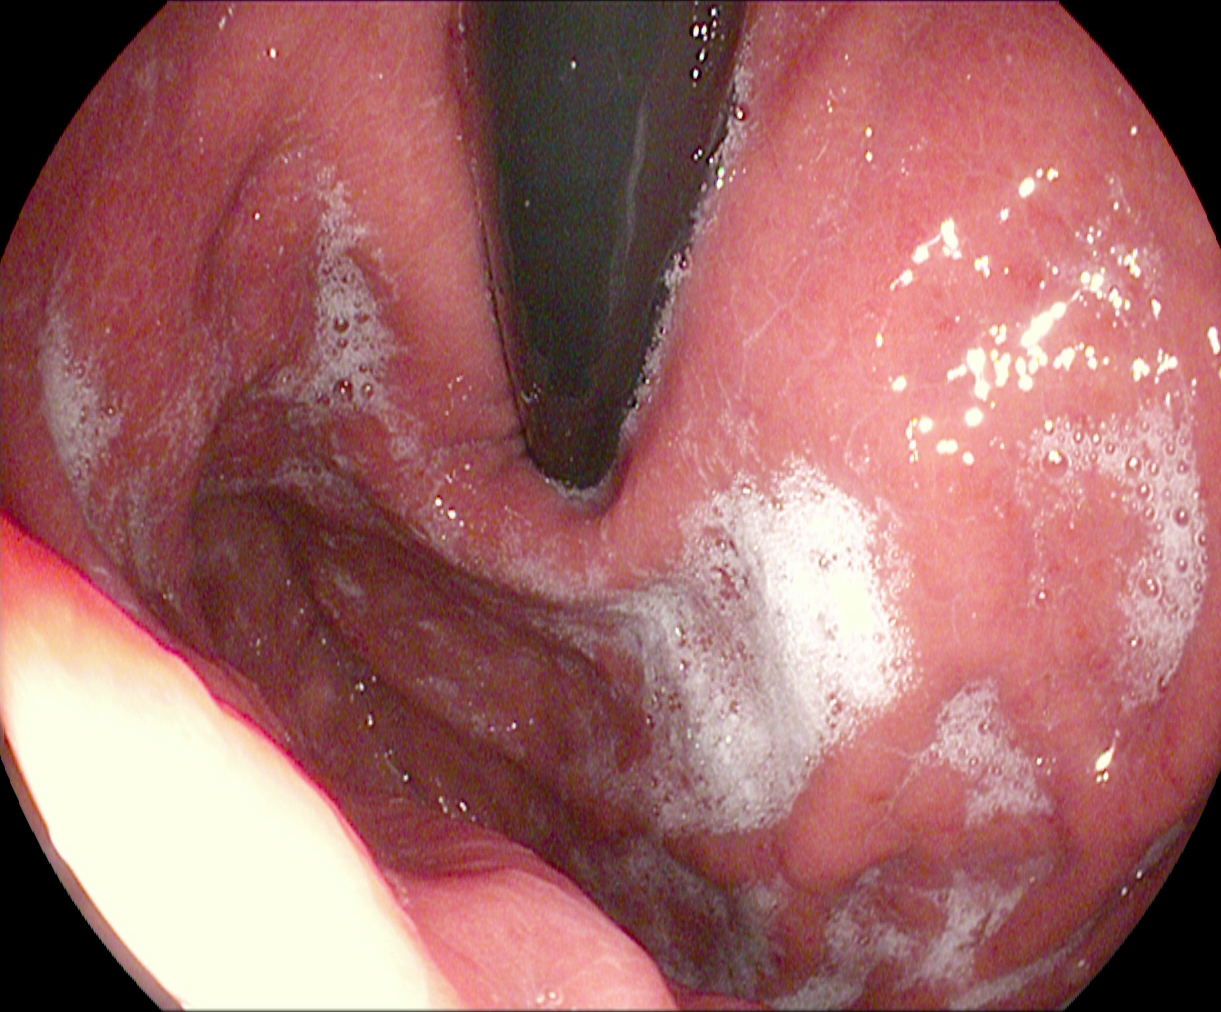Gastroscopy — stomach in retroflexion.